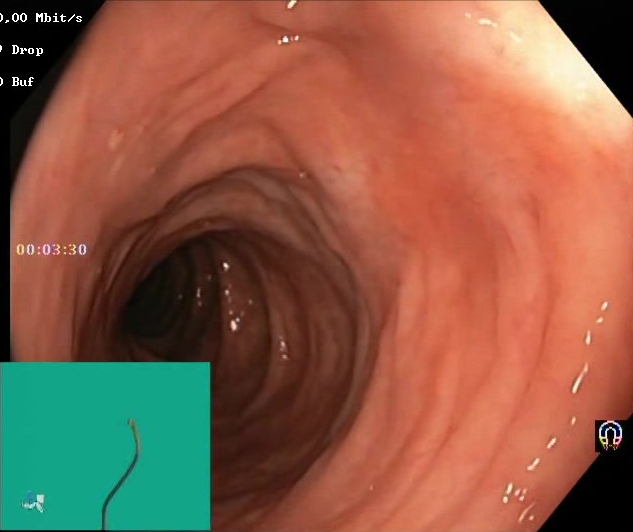Colonoscopy image of the lower GI tract showing Boston Bowel Preparation Scale score 2–3 (adequate preparation).